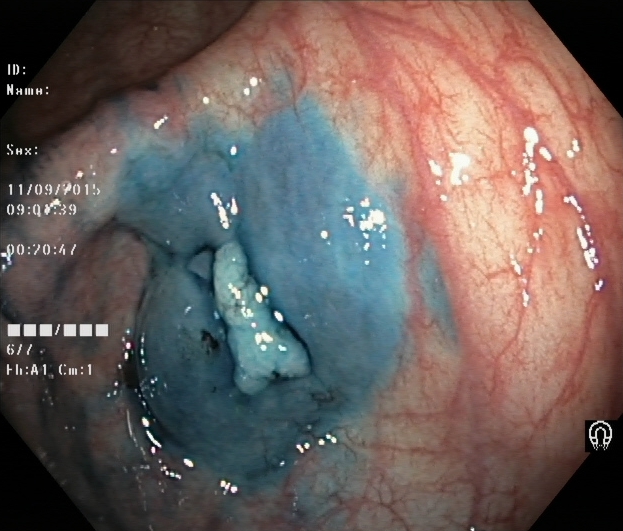Lower gastrointestinal endoscopy. Tract: lower GI tract. Finding: dyed and lifted polyp (pre-resection).